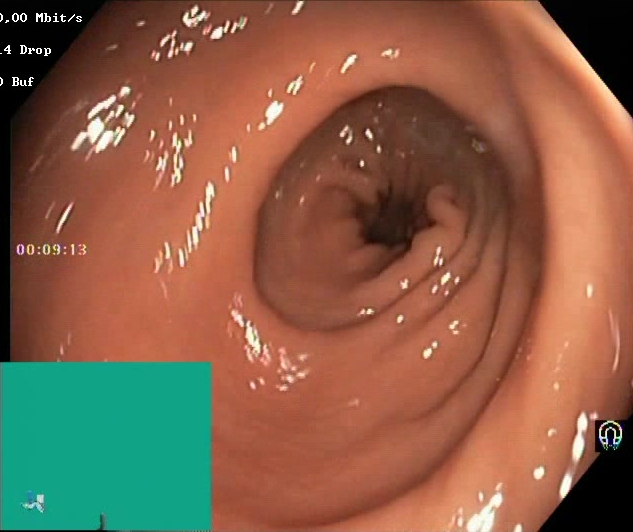Colonoscopy. Tract: lower GI tract. Finding: Boston Bowel Preparation Scale score 2–3 (adequate preparation).